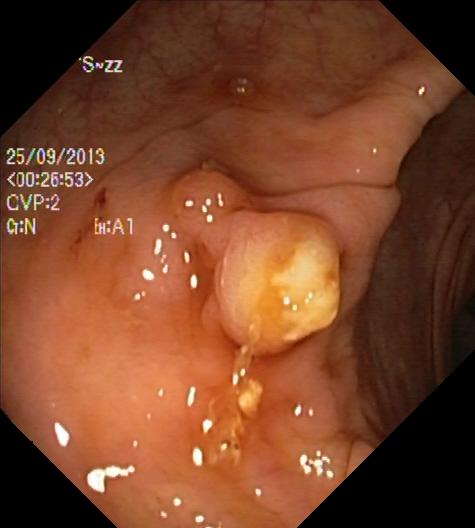colorectal polyp(s).